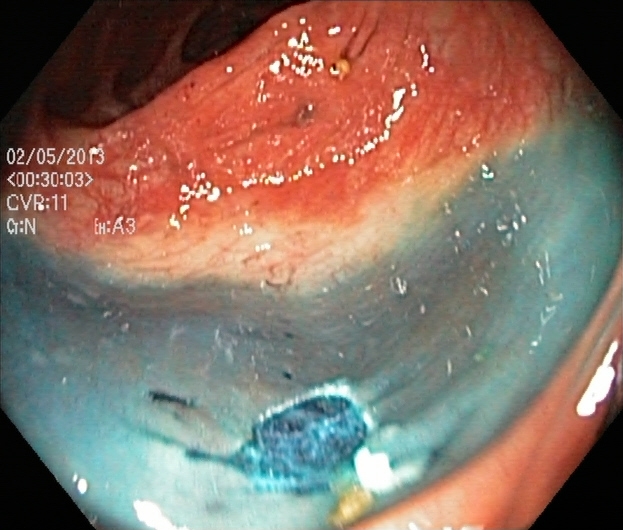Lower-GI endoscopy. Tract: lower GI tract. Finding: dyed resection margins (post-polypectomy).